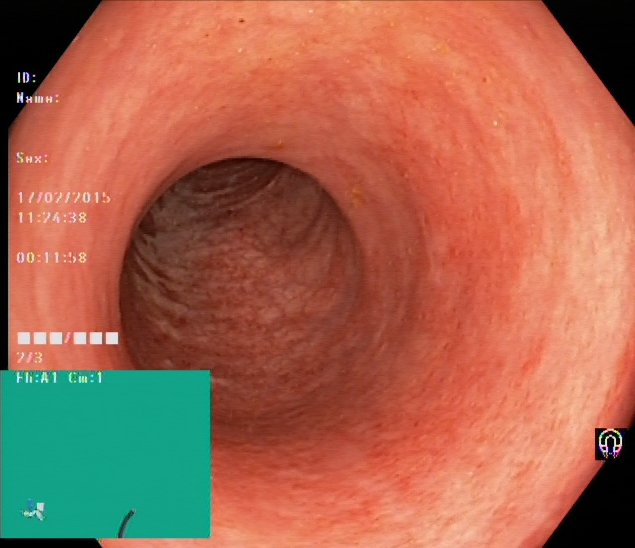Colonoscopy — ulcerative colitis, Mayo endoscopic subscore 1.